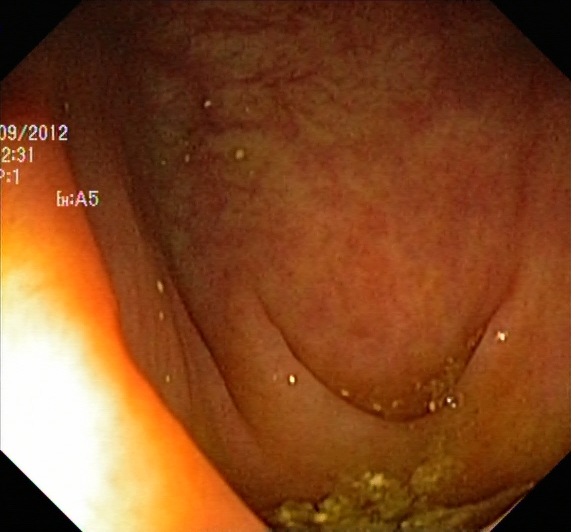modality: colonoscopy; tract: lower GI tract; finding: ulcerative colitis, Mayo endoscopic subscore 1